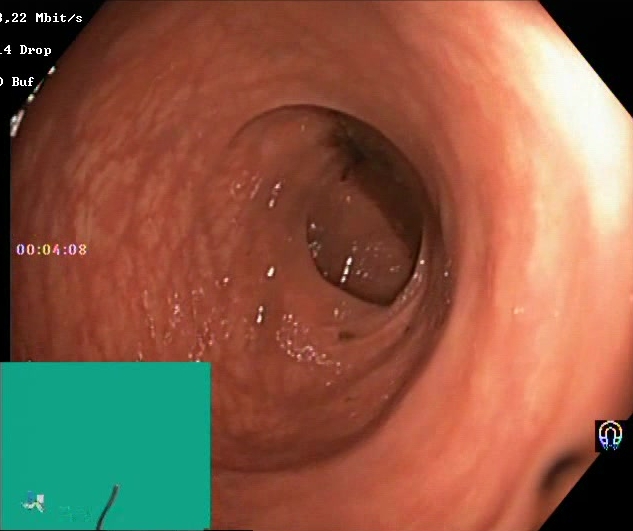This endoscopy frame of the lower GI tract shows BBPS score 0–1 (inadequate preparation).